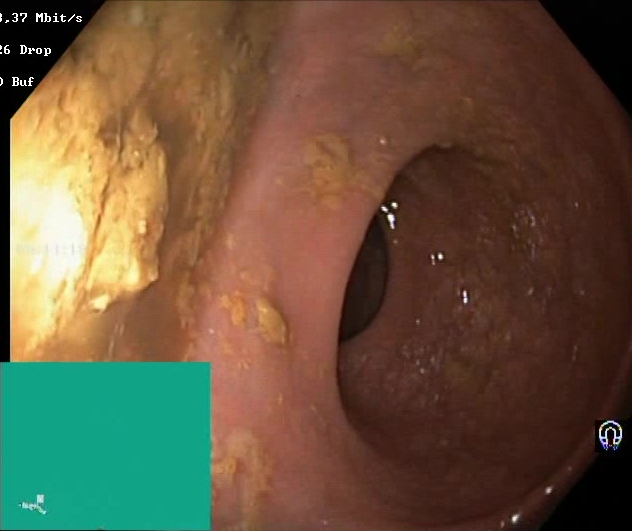modality: colonoscopy
finding: Boston Bowel Preparation Scale score 0–1 (inadequate preparation)